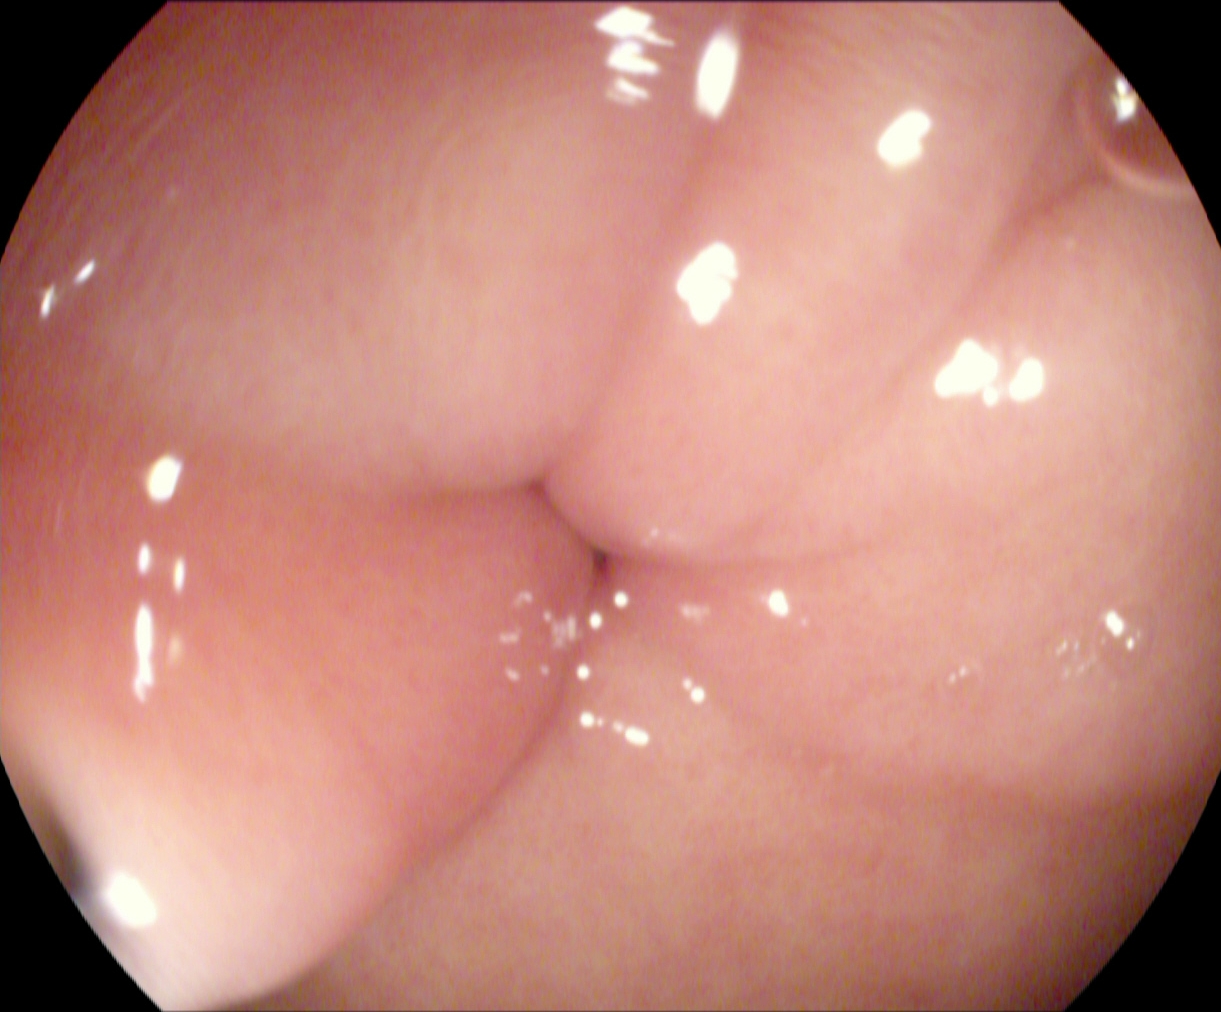Esophagogastroduodenoscopy image showing pylorus.